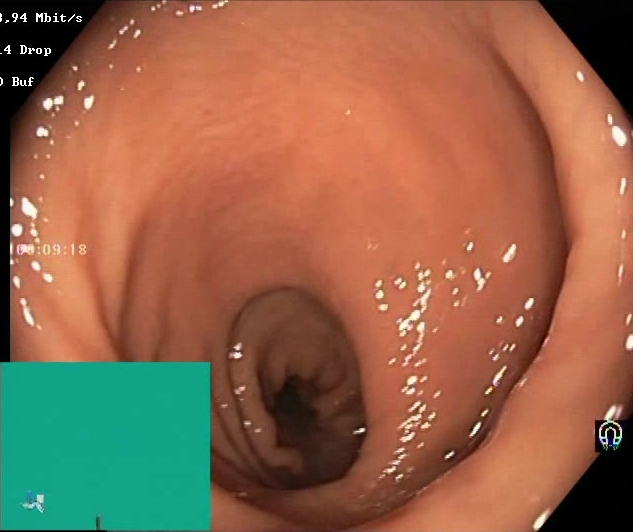Lower gastrointestinal endoscopy. Finding: Boston Bowel Preparation Scale score 2–3 (adequate preparation).